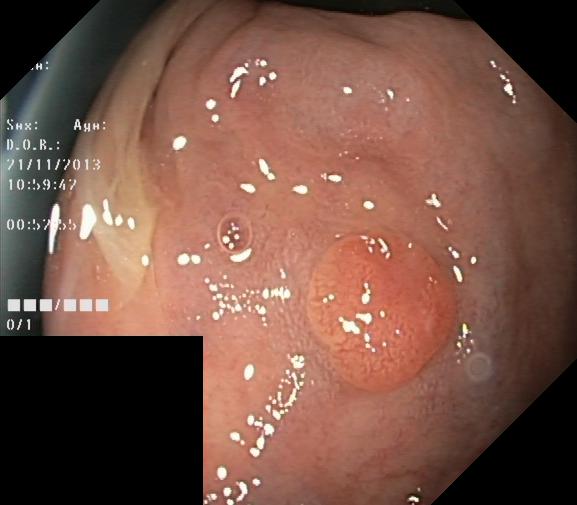PROCEDURE: Lower-GI endoscopy.
CATEGORY: Pathological finding.
FINDINGS: Colorectal polyp(s).